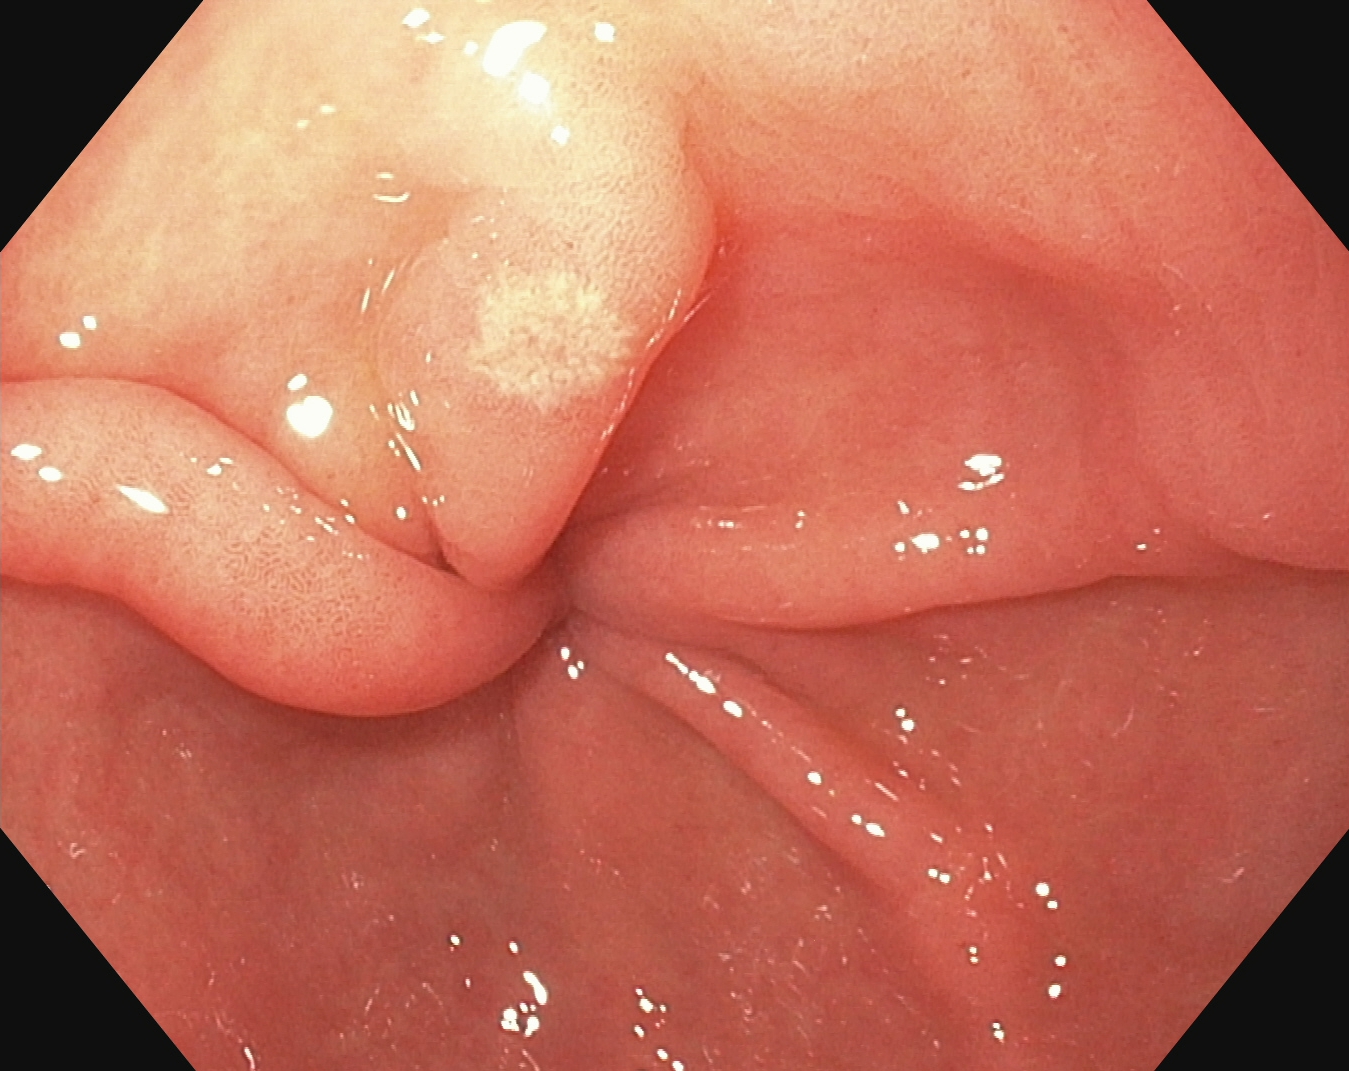PROCEDURE: EGD.
CATEGORY: Anatomical landmark.
FINDINGS: Pylorus.